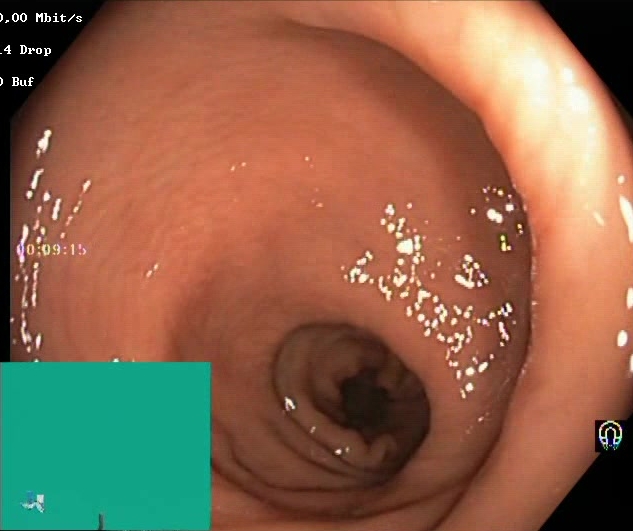Lower gastrointestinal endoscopy — Boston Bowel Preparation Scale score 2–3 (adequate preparation).